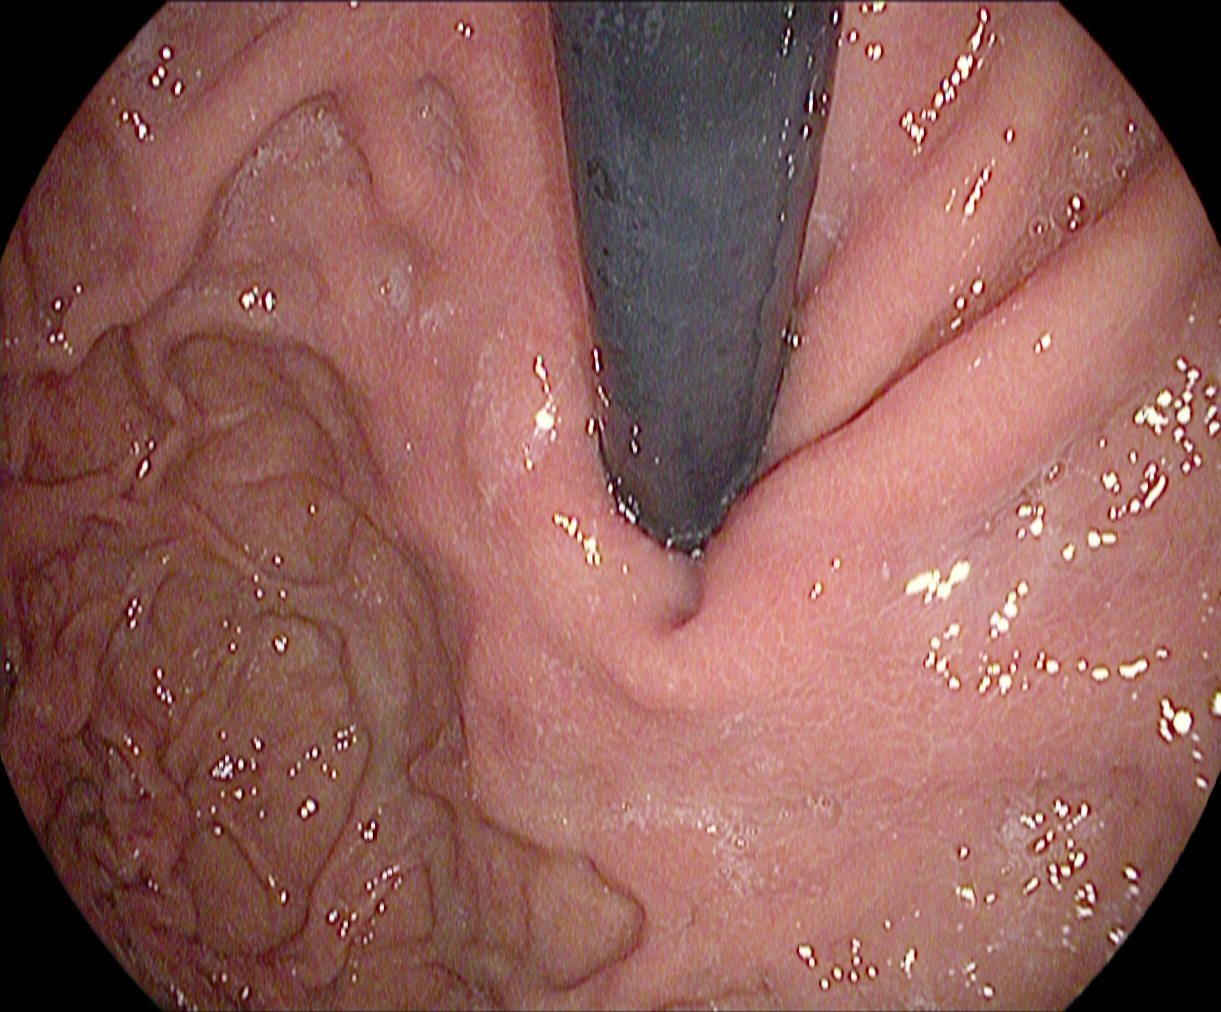modality: EGD
tract: upper GI tract
finding: stomach in retroflexion